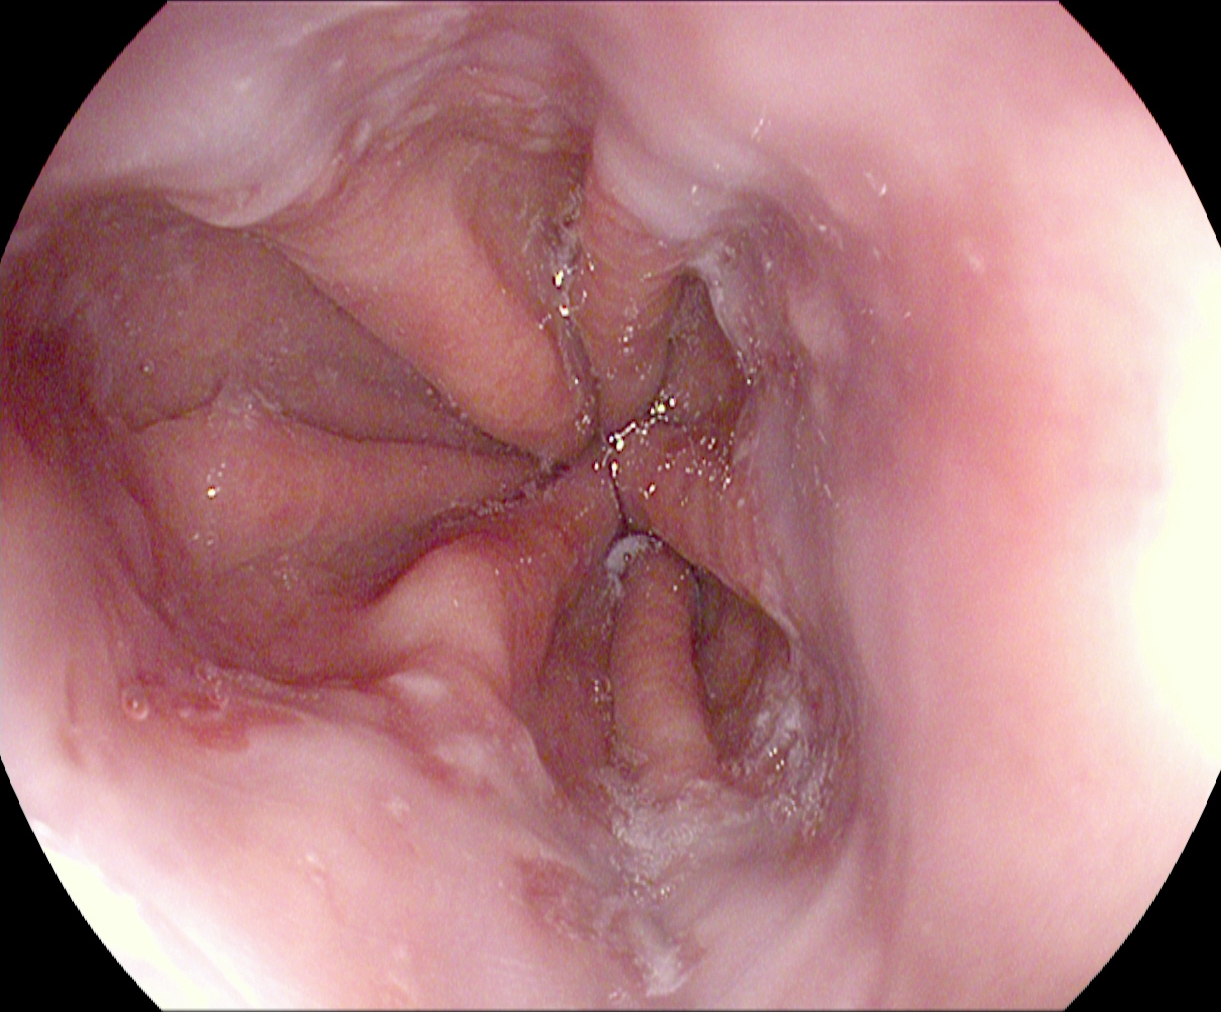modality: gastroscopy | tract: upper GI tract | finding: reflux esophagitis, Los Angeles grade A